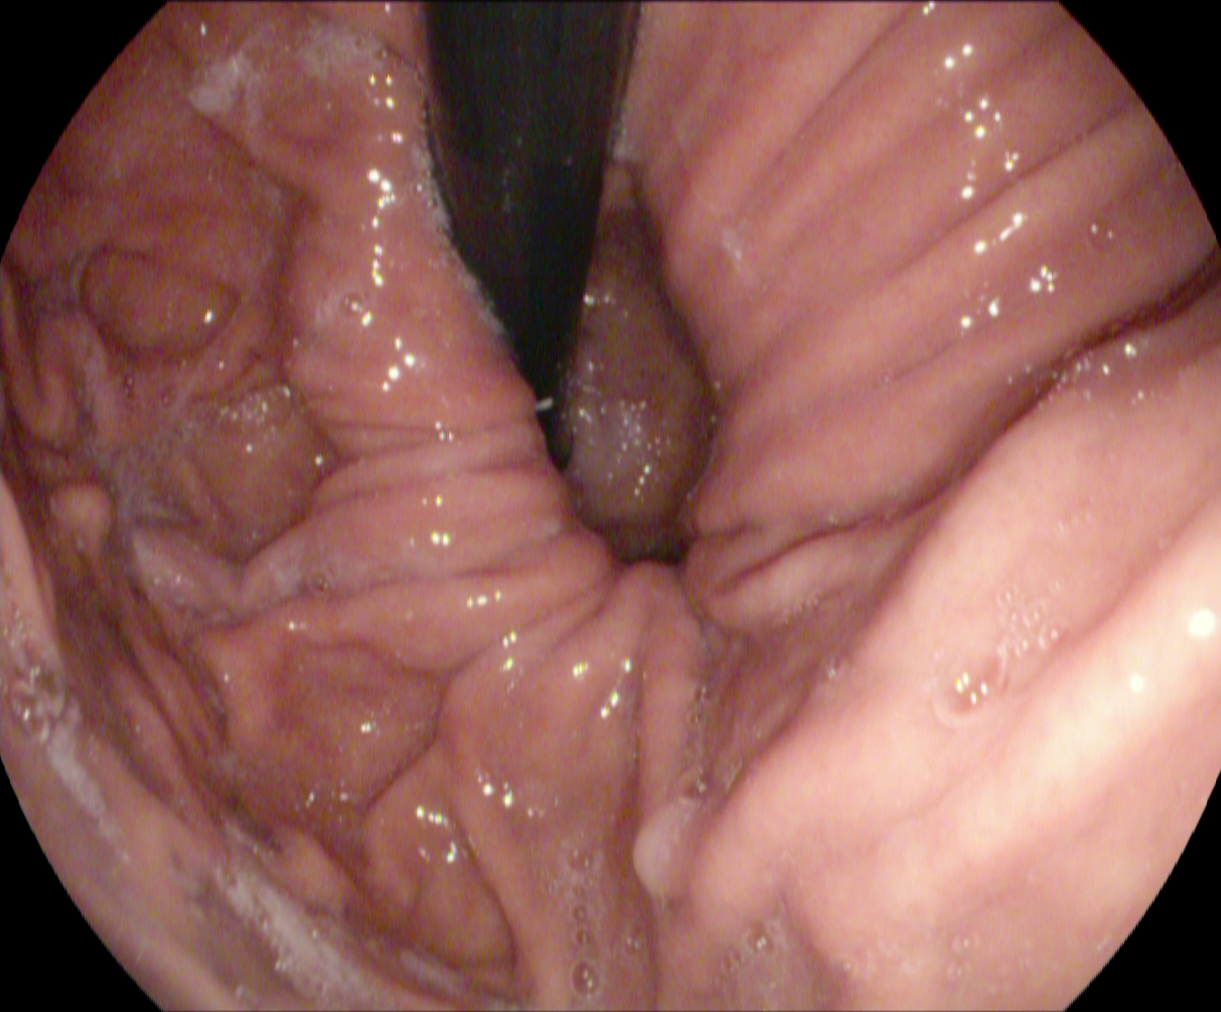{"modality": "EGD", "tract": "upper GI tract", "category": "anatomical landmark", "finding": "stomach in retroflexion"}